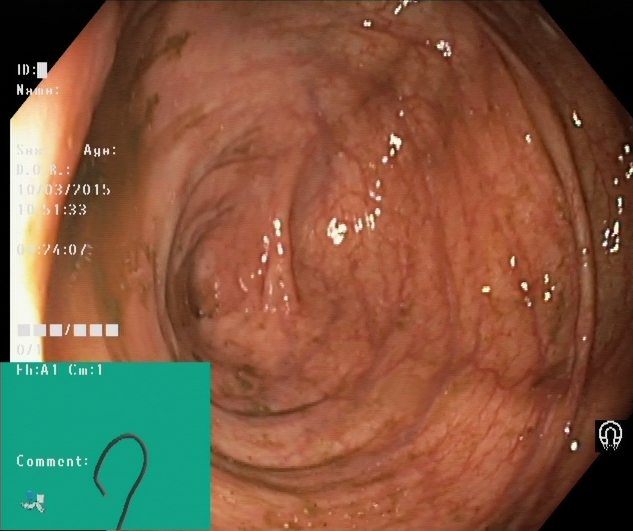Cecum.